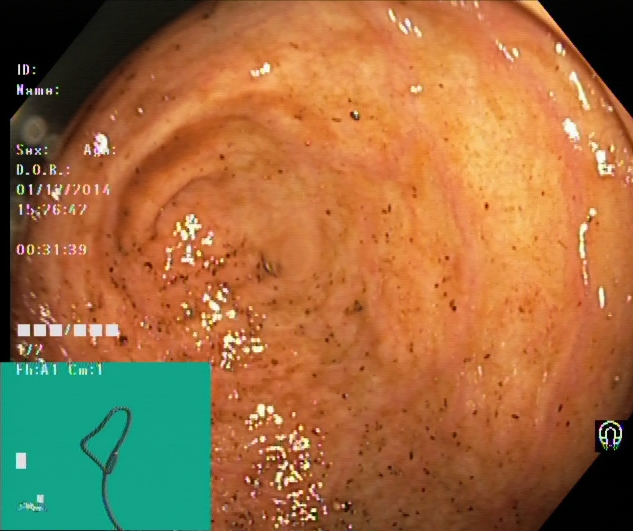PROCEDURE: Lower gastrointestinal endoscopy.
FINDINGS: Cecum.